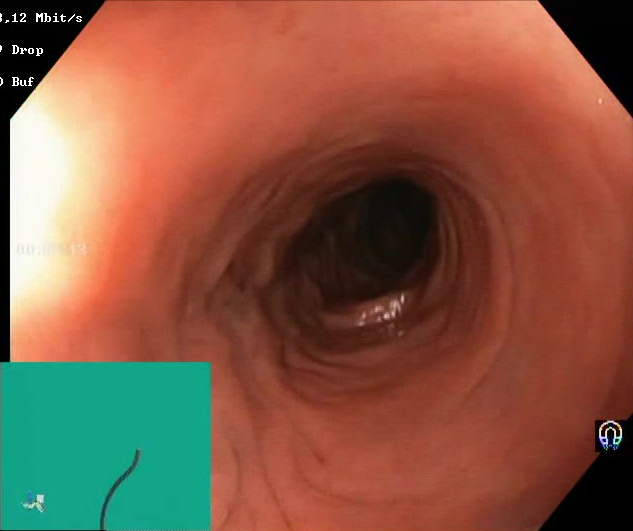Boston Bowel Preparation Scale score 2–3 (adequate preparation).